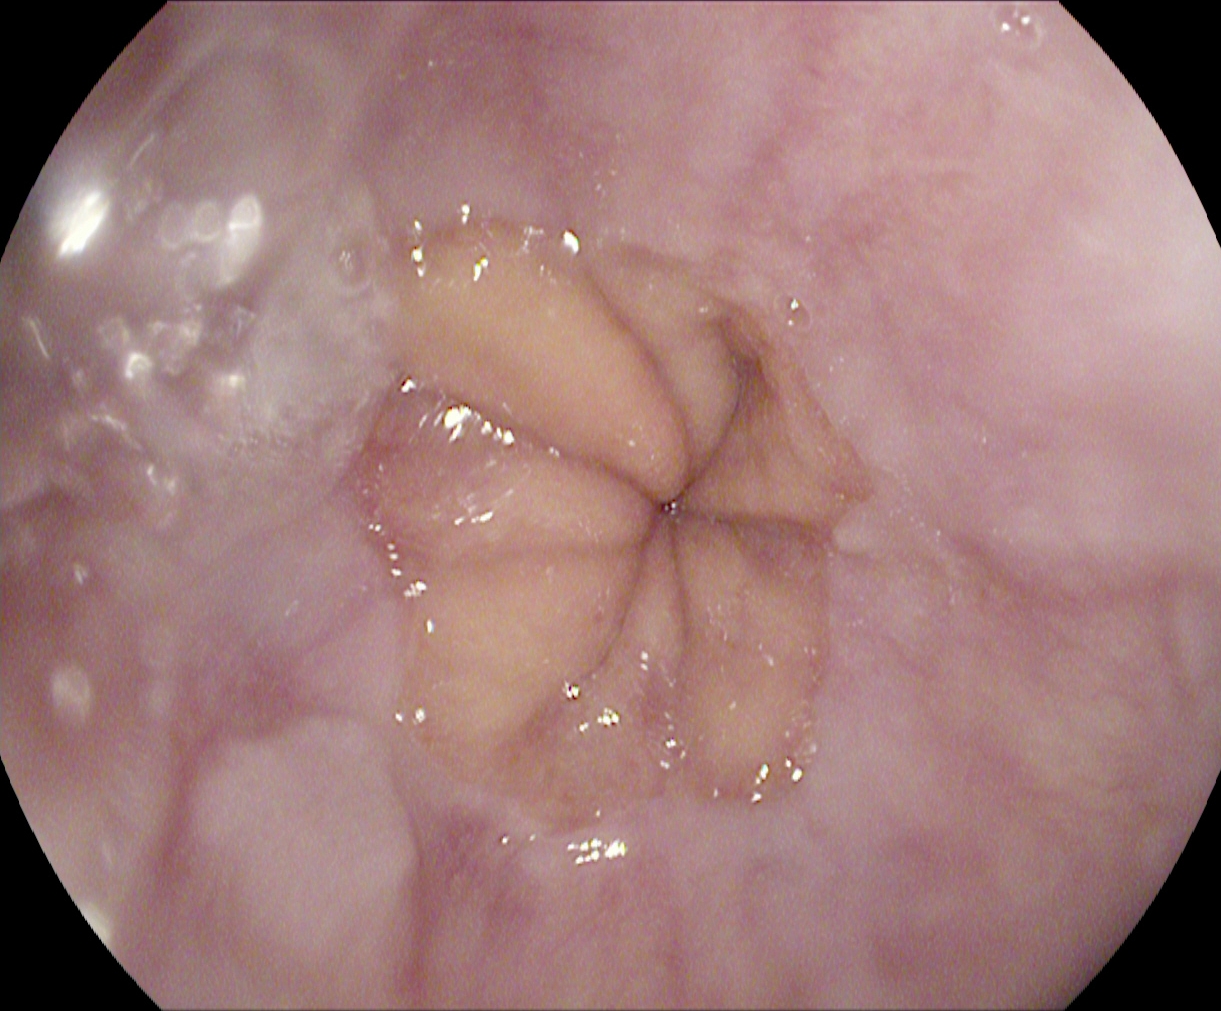PROCEDURE: Upper-GI endoscopy.
FINDINGS: Z-line (gastroesophageal junction).